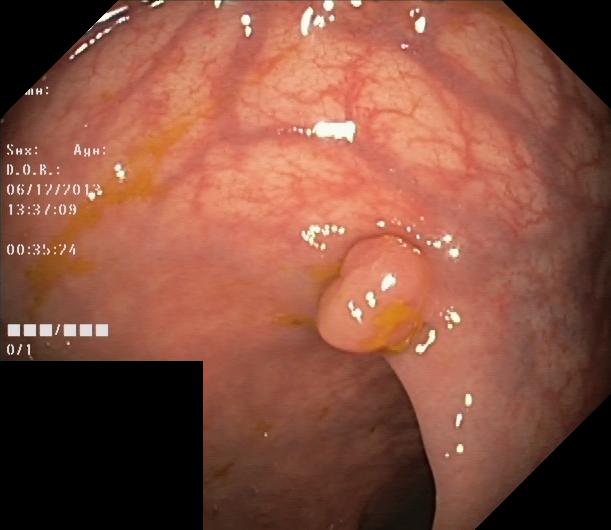This endoscopy frame of the lower GI tract shows colorectal polyp(s).